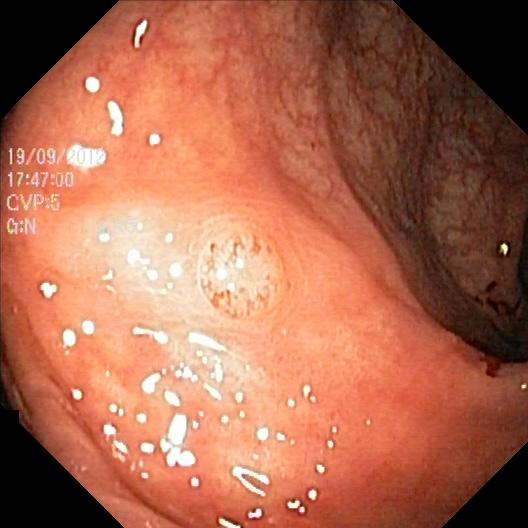This endoscopy frame of the lower GI tract shows colorectal polyp(s).